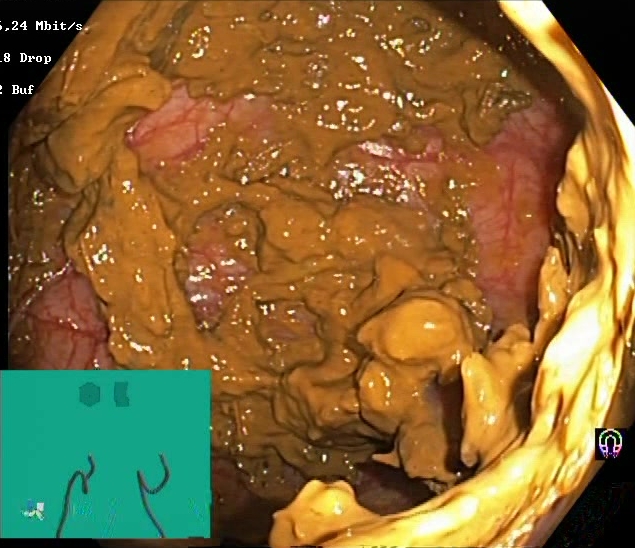Boston Bowel Preparation Scale score 0–1 (inadequate preparation).